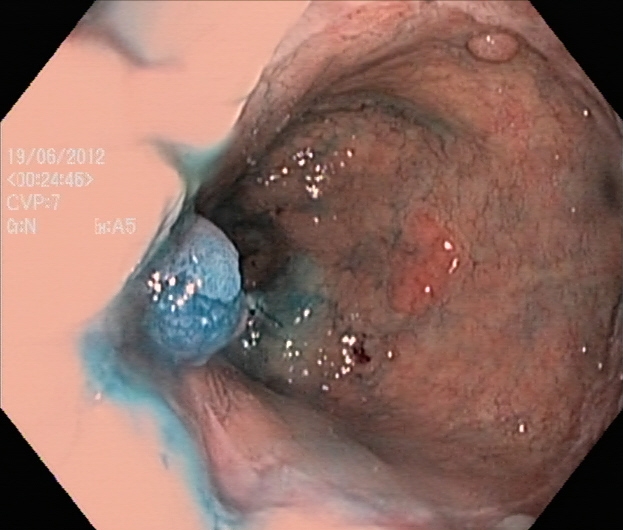This endoscopic image shows dyed and lifted polyp (pre-resection).